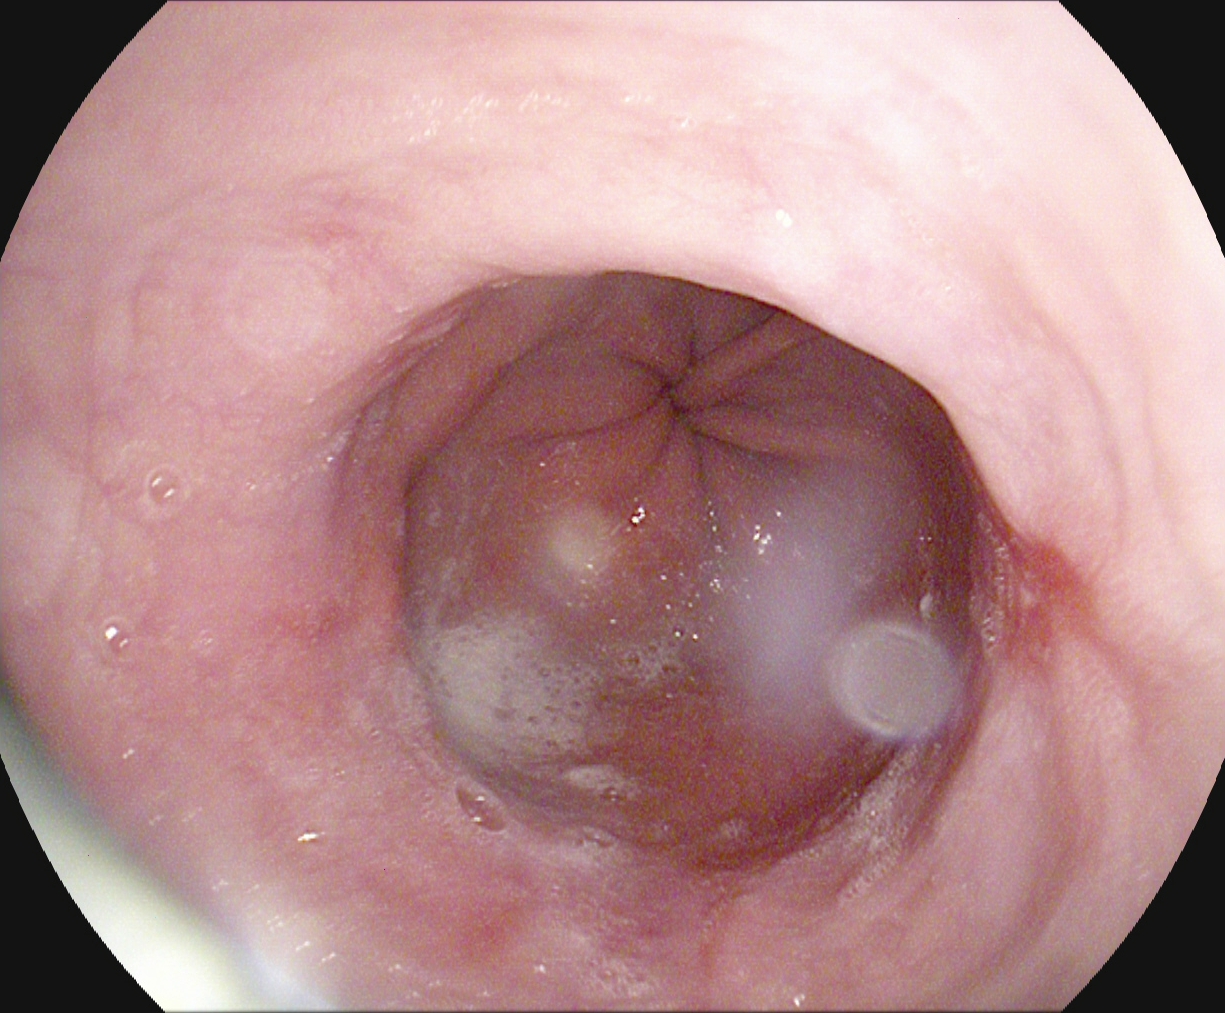Esophagogastroduodenoscopy. Finding: reflux esophagitis, LA grade A.